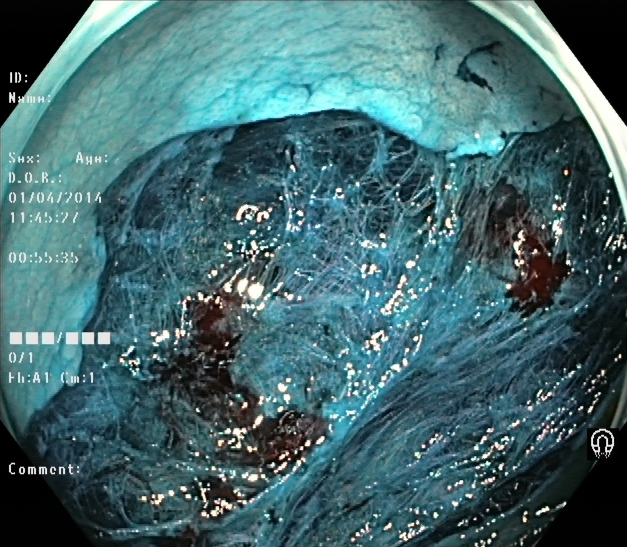{"modality": "lower-GI endoscopy", "tract": "lower GI tract", "finding": "dyed resection margins (post-polypectomy)"}